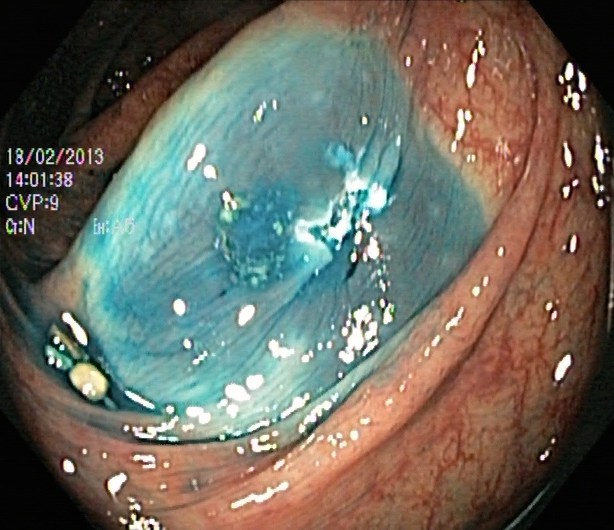PROCEDURE: Lower-GI endoscopy.
CATEGORY: Therapeutic intervention.
FINDINGS: Dyed resection margins (post-polypectomy).